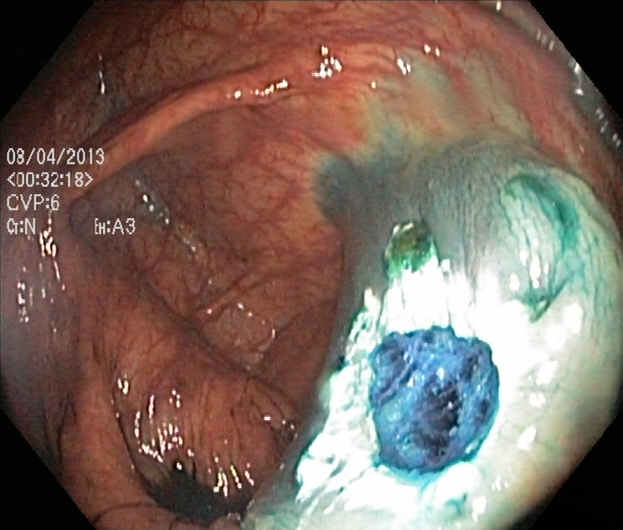Lower gastrointestinal endoscopy — dyed resection margins (post-polypectomy).